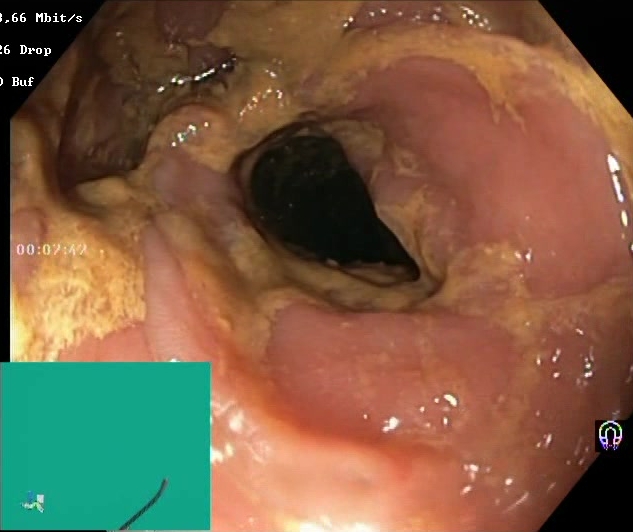{"modality": "colonoscopy", "finding": "BBPS score 0\u20131 (inadequate preparation)"}